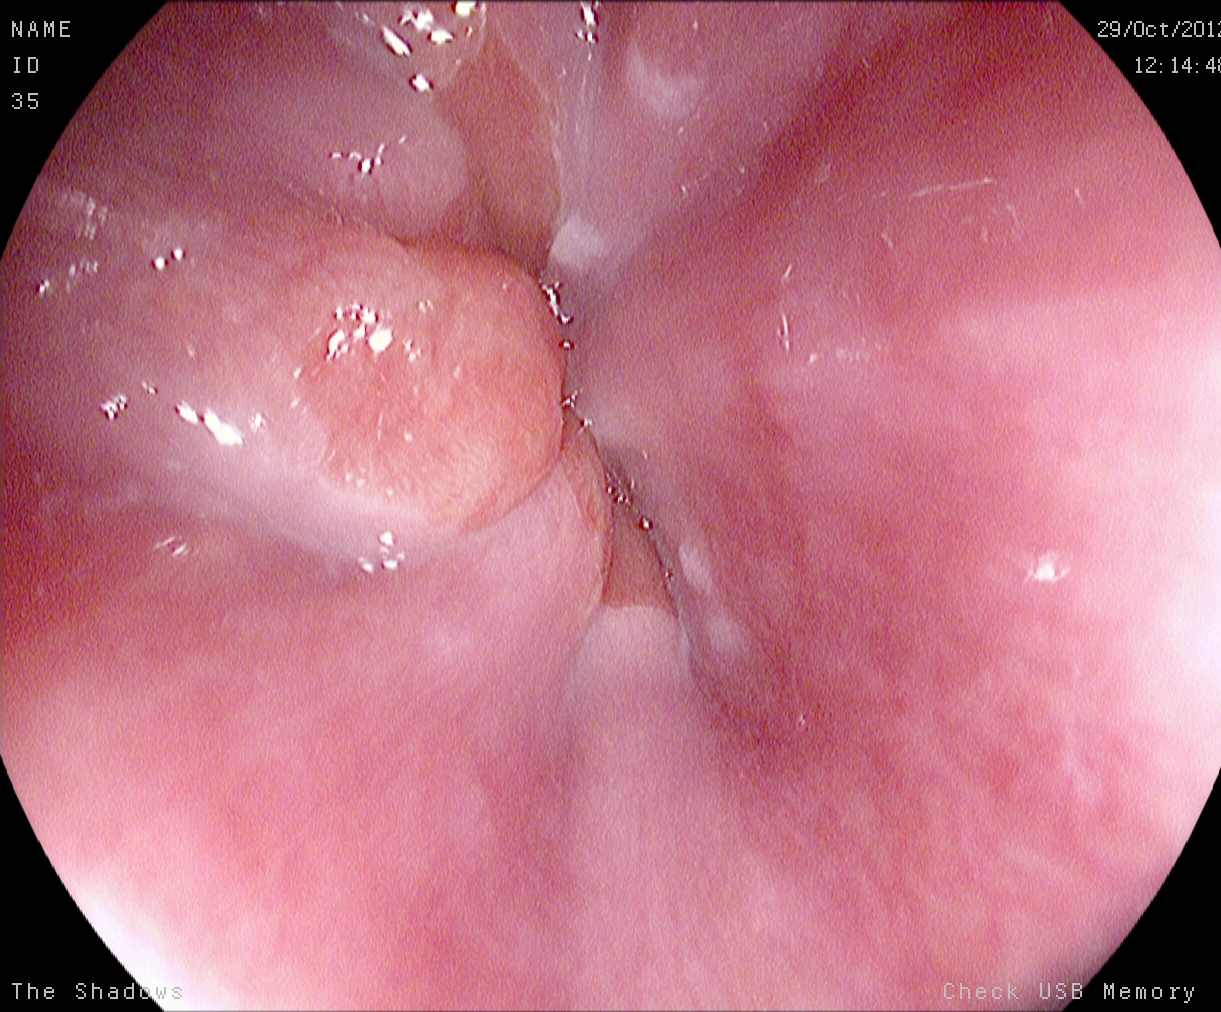modality: esophagogastroduodenoscopy; tract: upper GI tract; finding: Z-line (gastroesophageal junction)